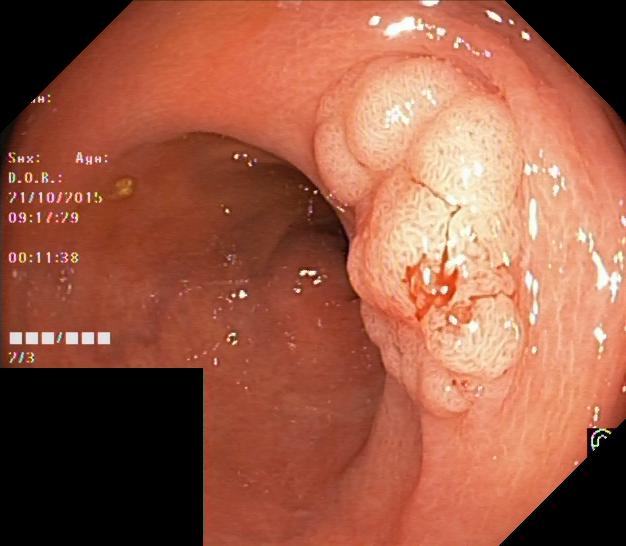modality: lower gastrointestinal endoscopy; tract: lower GI tract; category: pathological finding; finding: colorectal polyp(s)